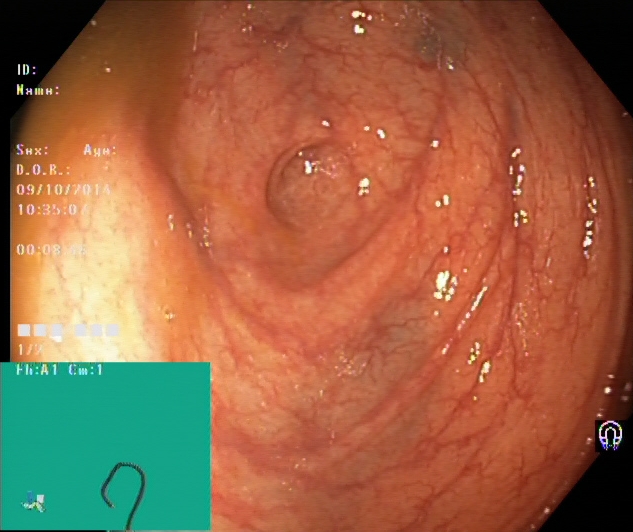PROCEDURE: Lower gastrointestinal endoscopy.
CATEGORY: Anatomical landmark.
FINDINGS: Cecum.